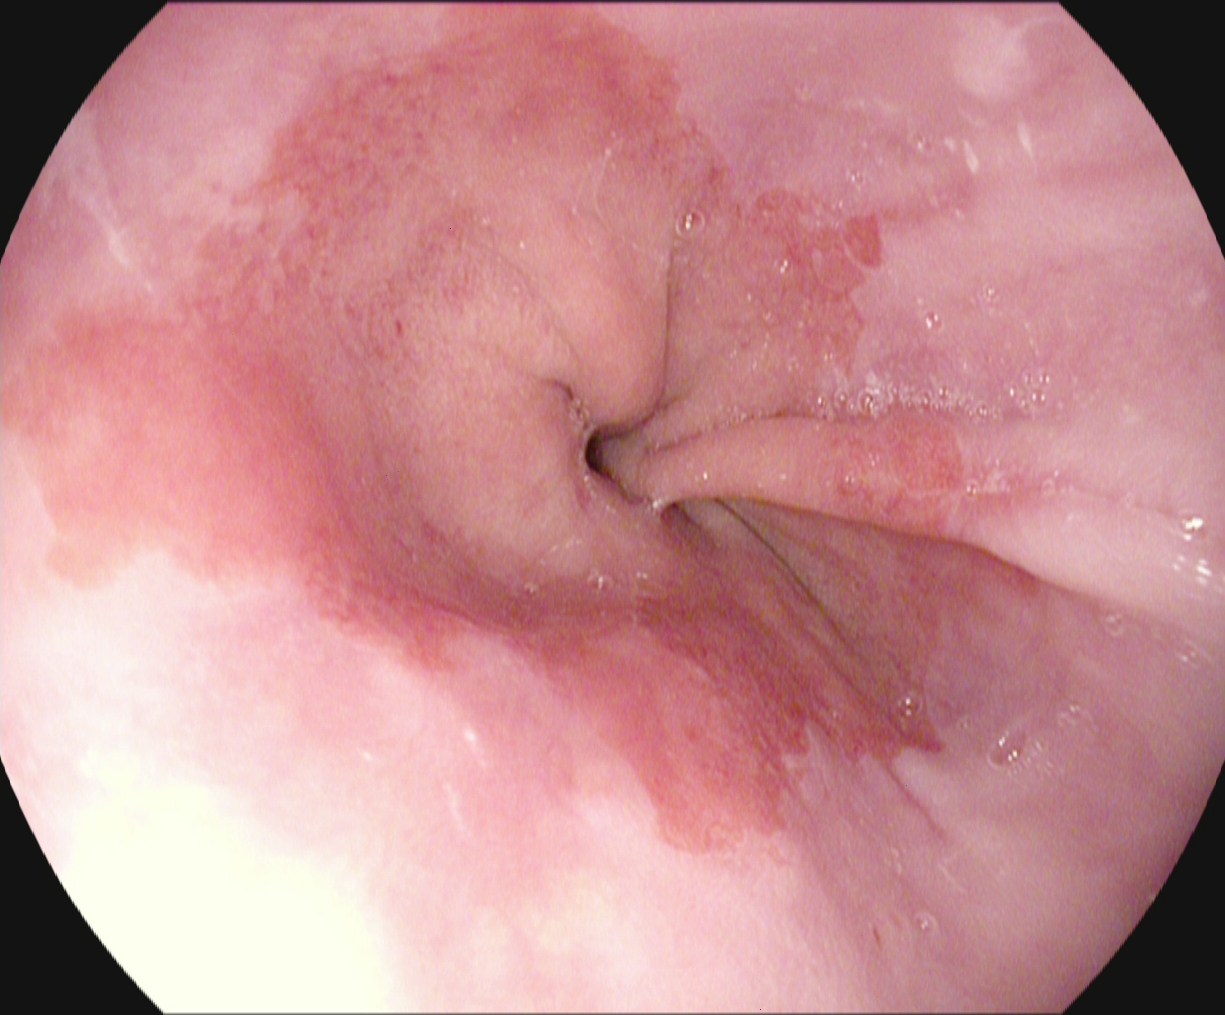Upper-GI endoscopy. Tract: upper GI tract. Finding: Barrett's esophagus, short segment.